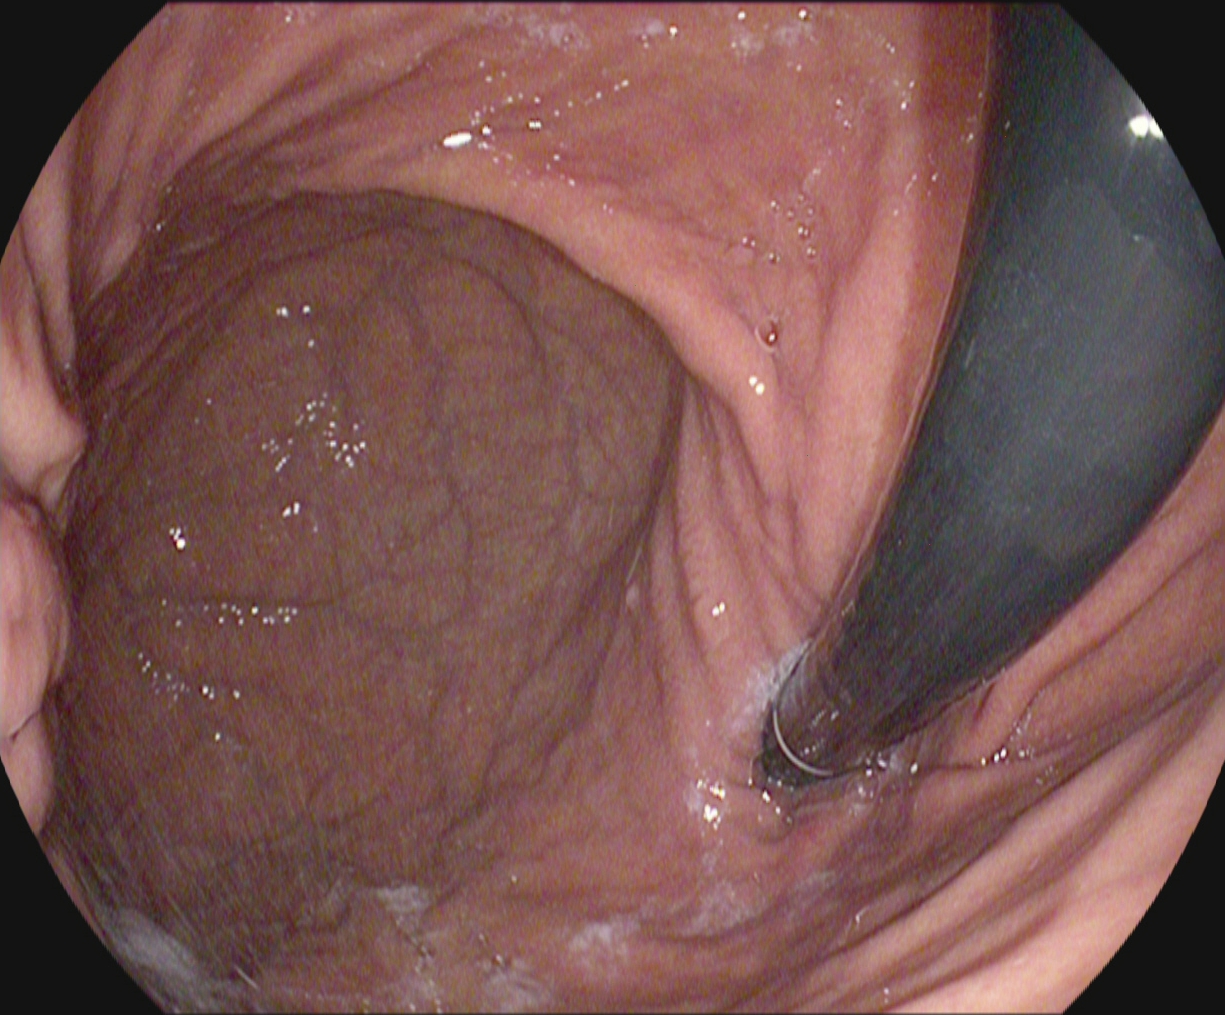This endoscopic image of the upper GI tract shows stomach in retroflexion.